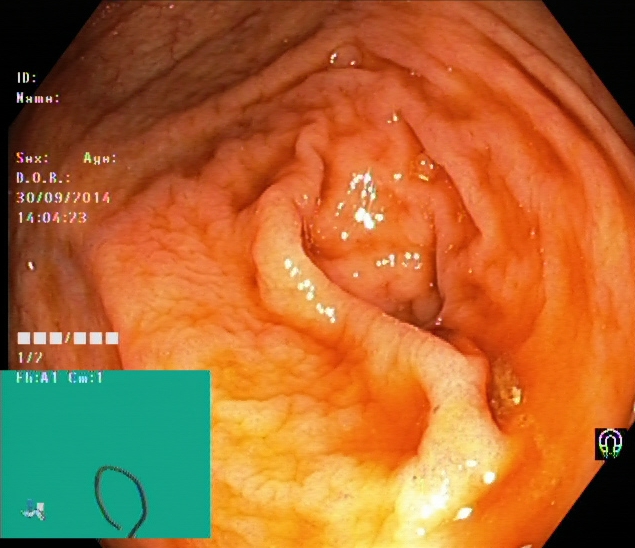This endoscopy frame of the lower GI tract shows cecum.